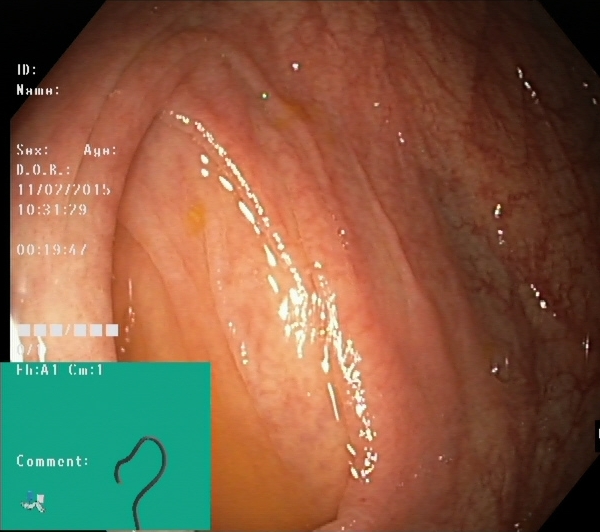{"modality": "colonoscopy", "finding": "cecum"}